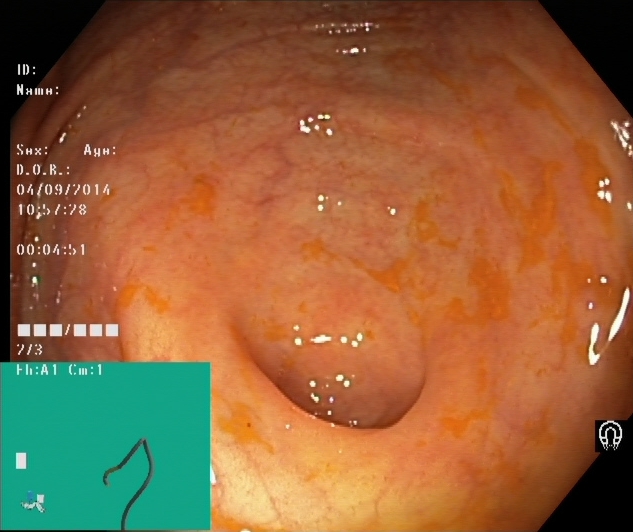PROCEDURE: Lower-GI endoscopy.
CATEGORY: Anatomical landmark.
FINDINGS: Cecum.